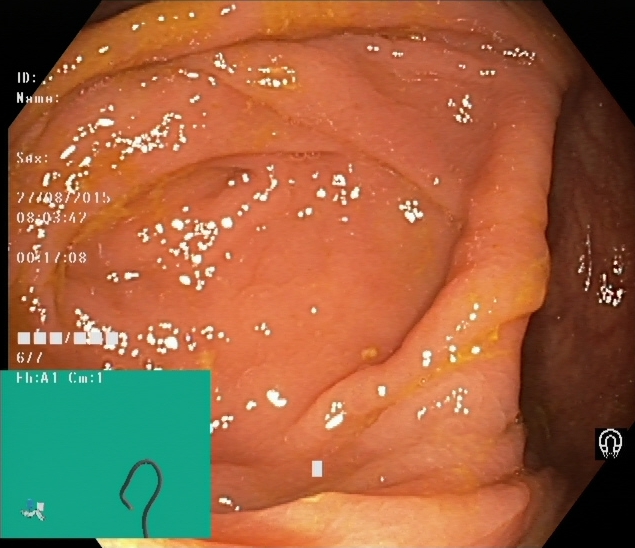This endoscopy frame shows cecum.